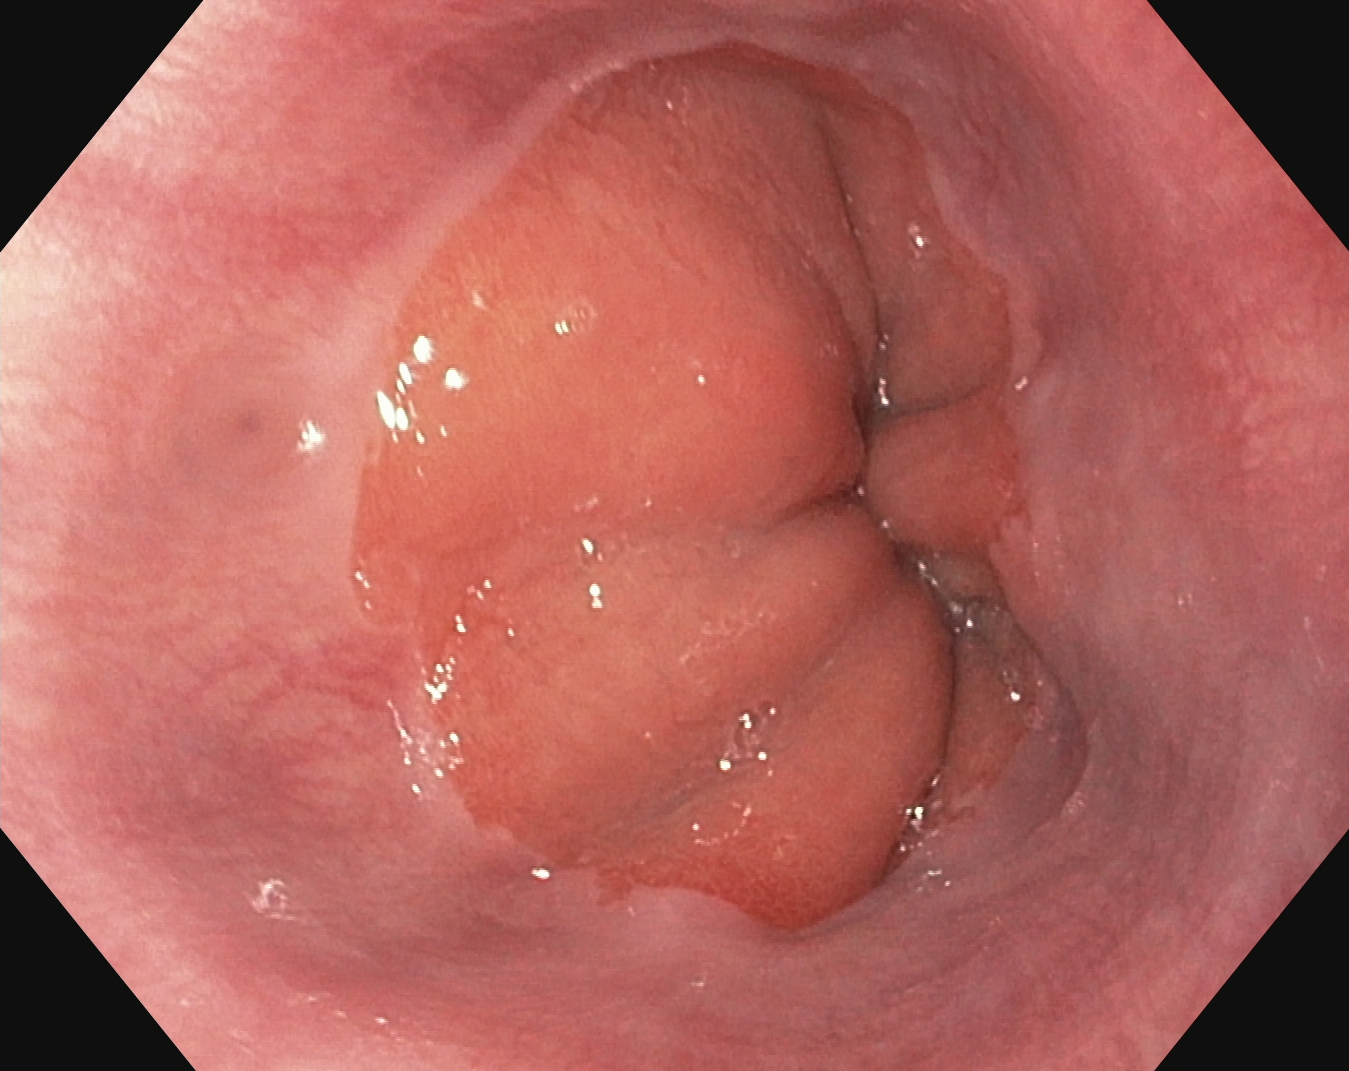This endoscopy frame of the upper GI tract shows Z-line (gastroesophageal junction).